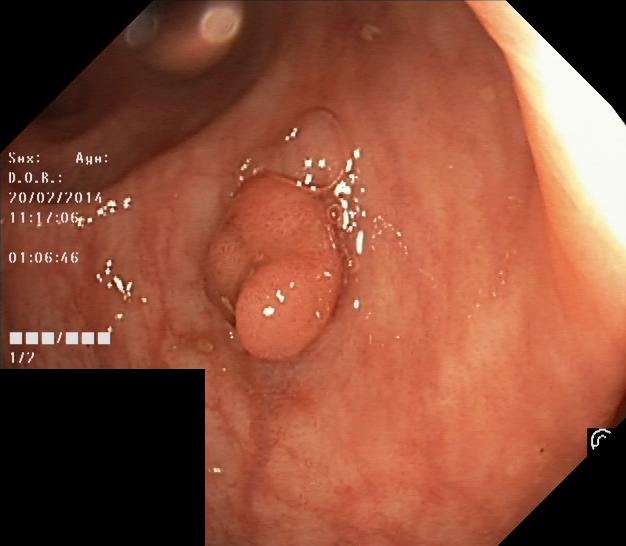colorectal polyp(s).